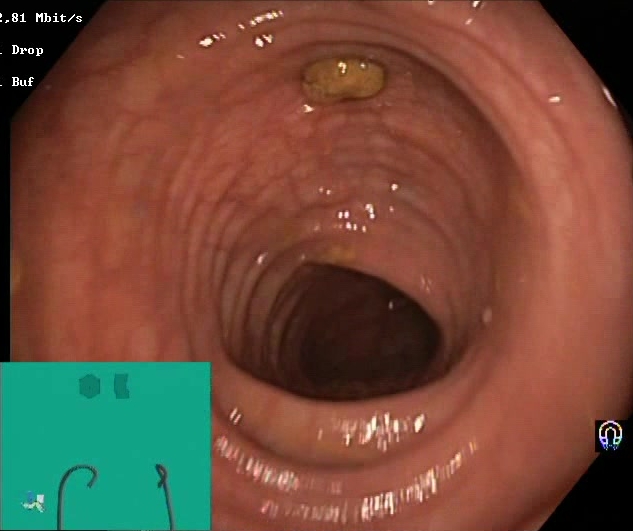BBPS score 2–3 (adequate preparation).